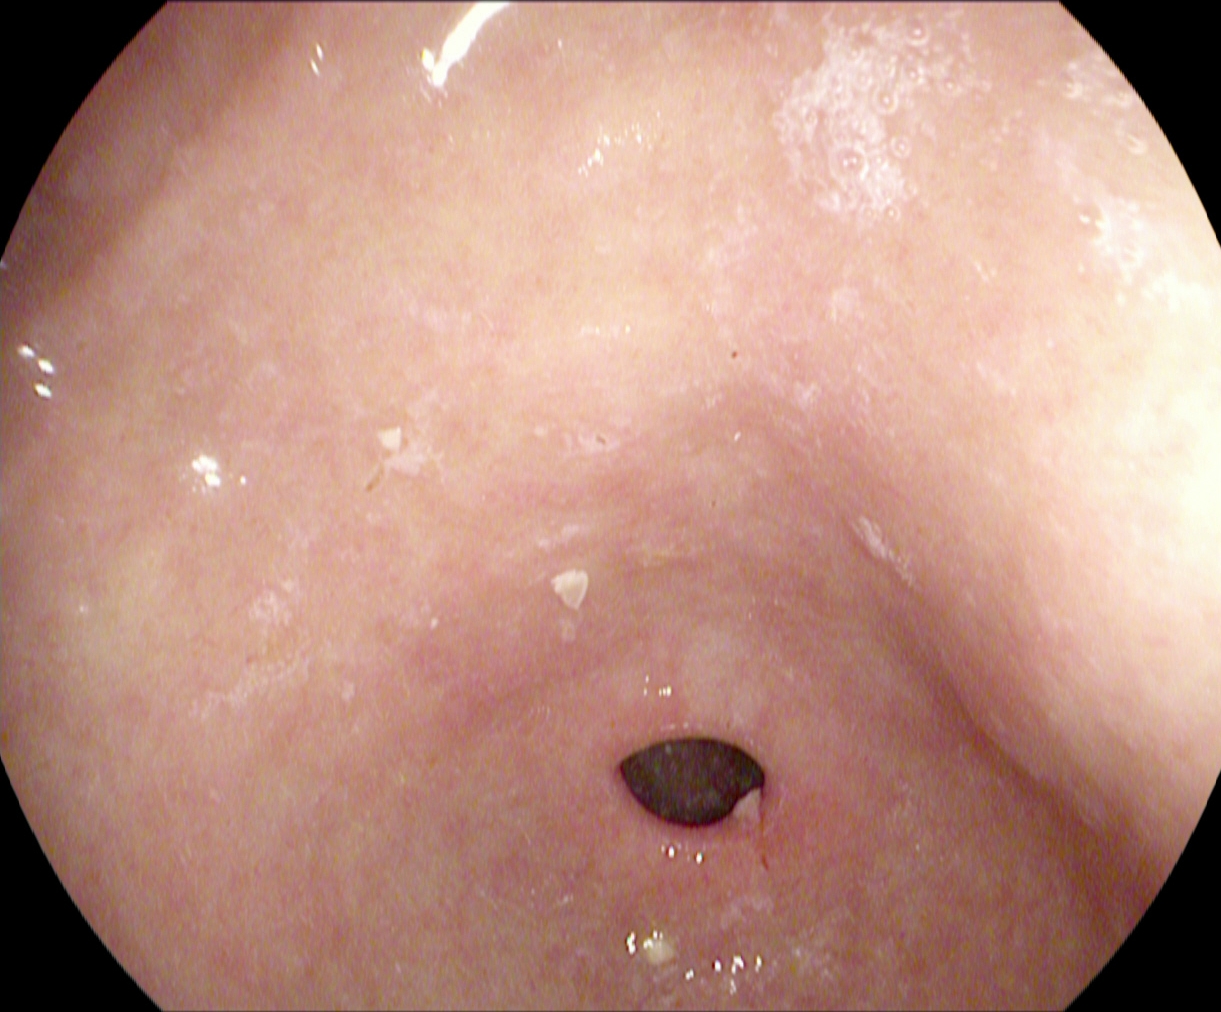Pylorus.